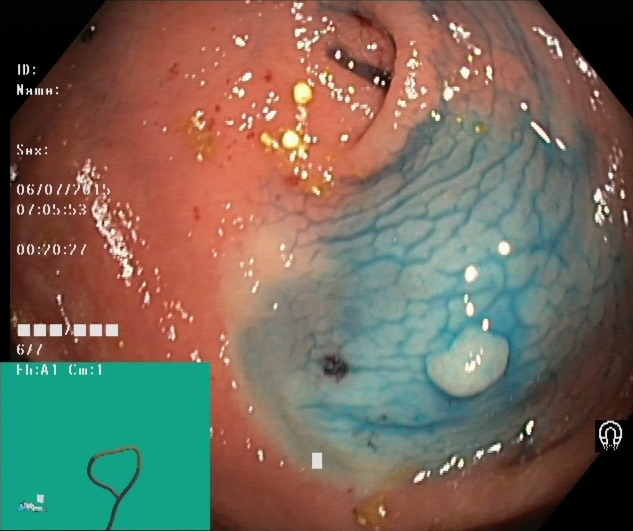Dyed and lifted polyp (pre-resection).